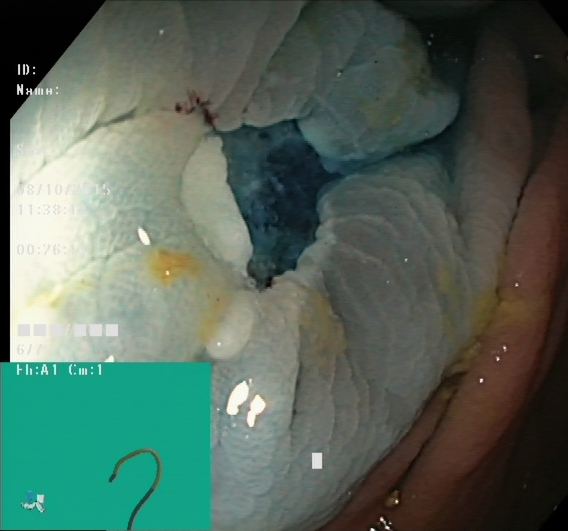Lower gastrointestinal endoscopy — dyed resection margins (post-polypectomy).